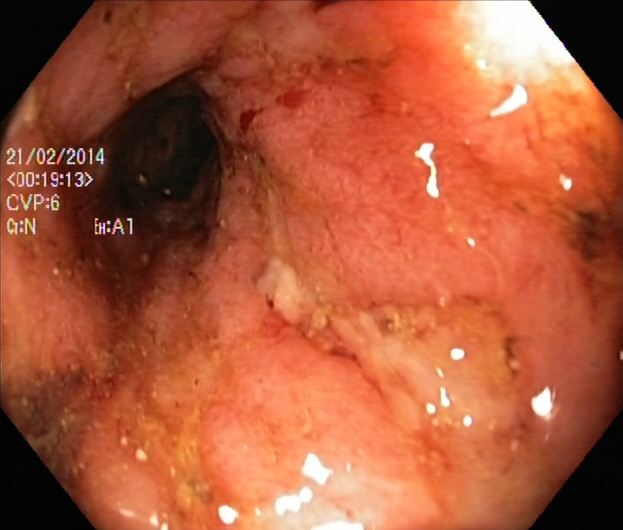modality: colonoscopy
tract: lower GI tract
finding: ulcerative colitis, Mayo endoscopic subscore 3